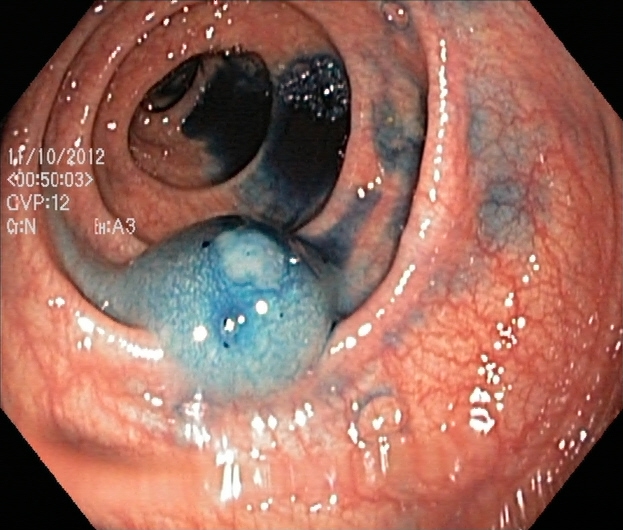Gastrointestinal endoscopy image showing dyed and lifted polyp (pre-resection).